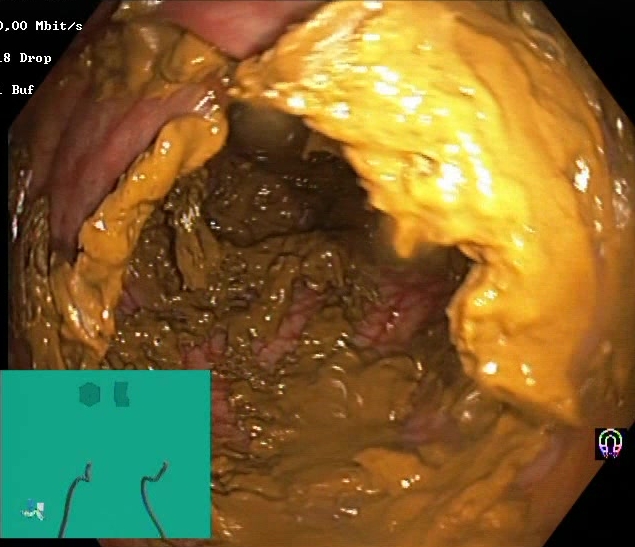Endoscopy image of the lower GI tract showing BBPS score 0–1 (inadequate preparation).